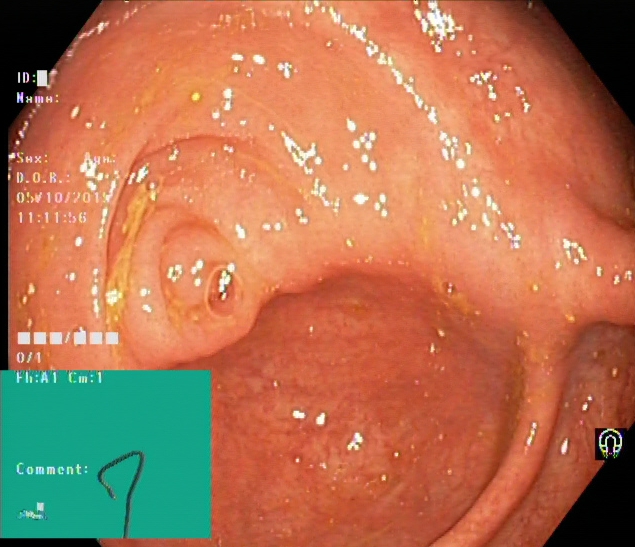This endoscopic image of the lower GI tract shows cecum.